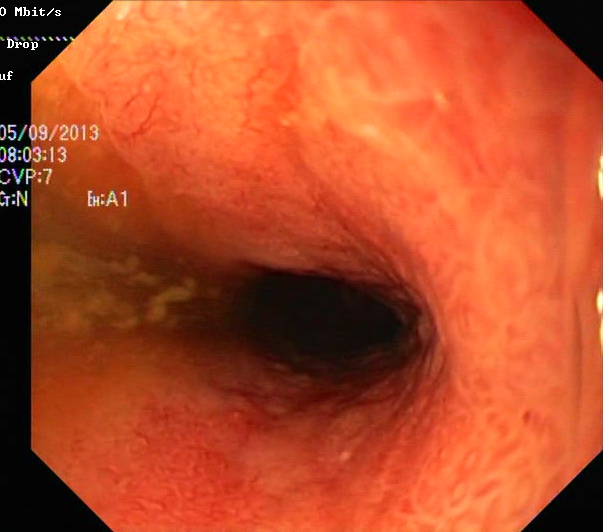Ulcerative colitis, Mayo endoscopic subscore 2.